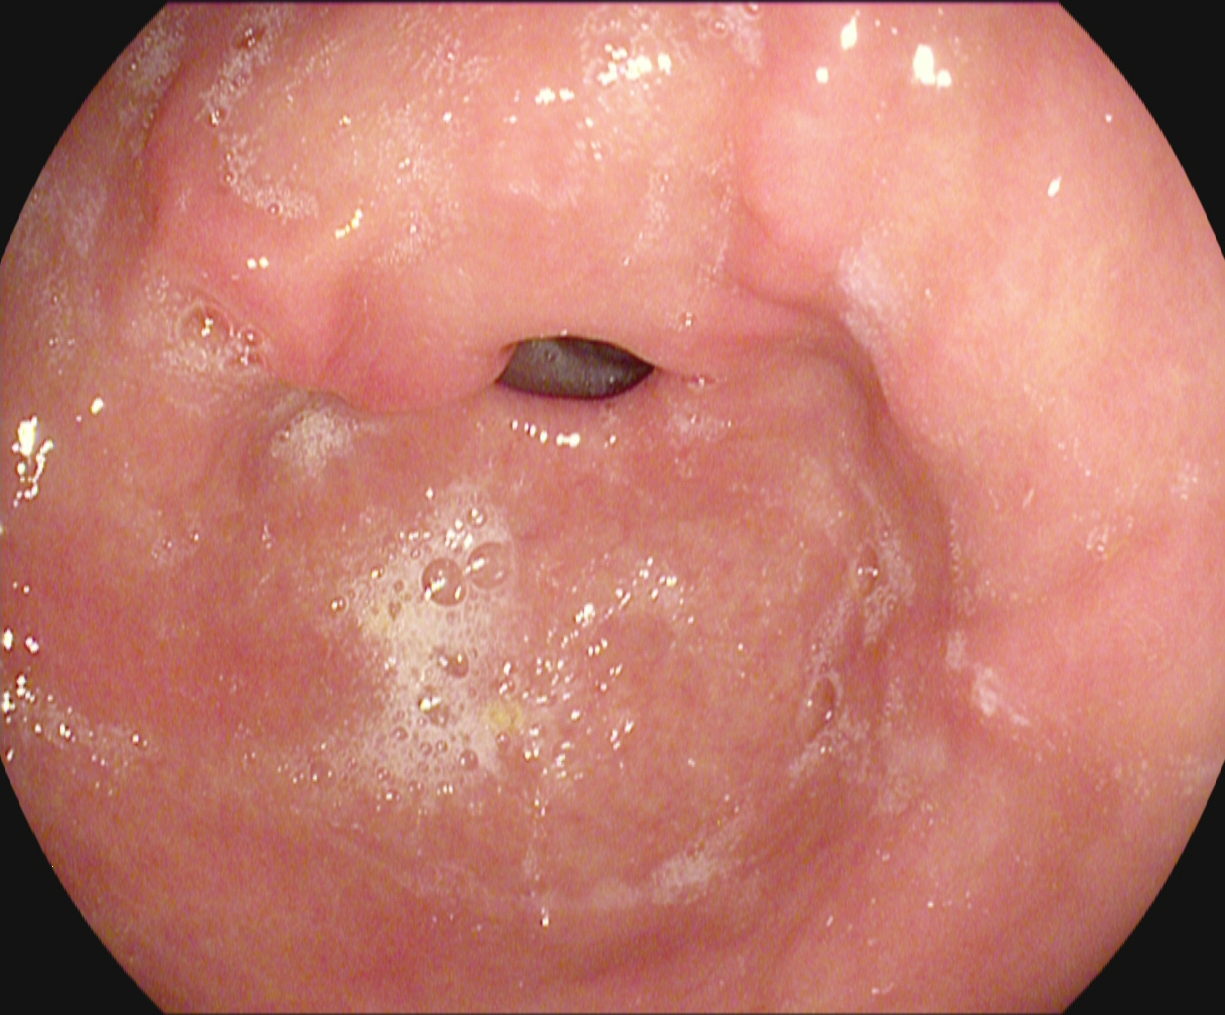modality: upper-GI endoscopy | category: anatomical landmark | finding: pylorus